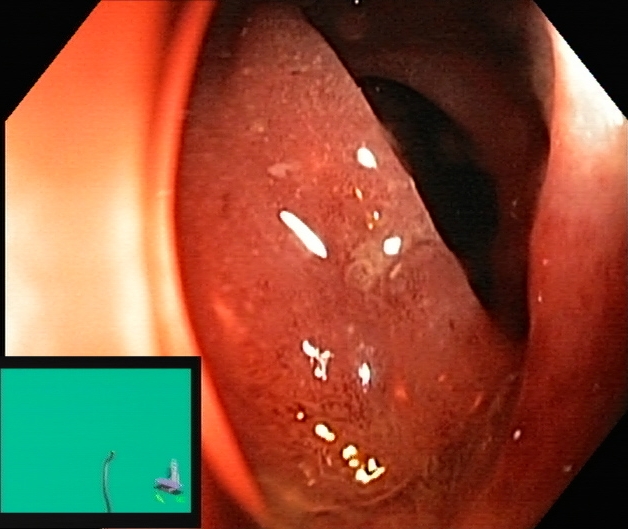Colonoscopy — ulcerative colitis, Mayo endoscopic subscore 2.